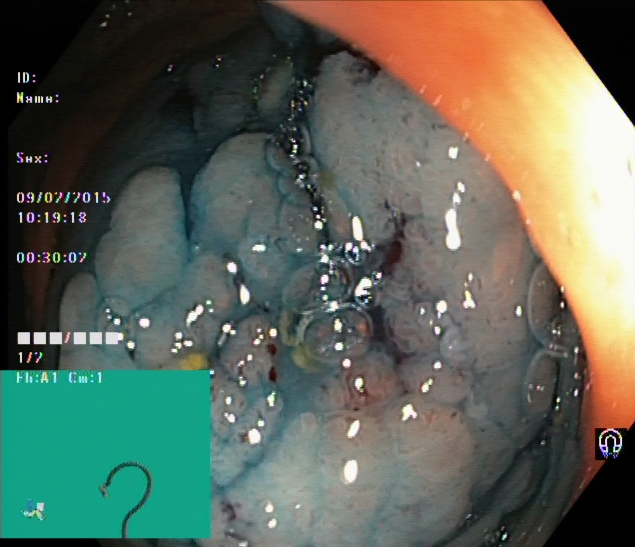Lower gastrointestinal endoscopy image of the lower GI tract showing dyed and lifted polyp (pre-resection).